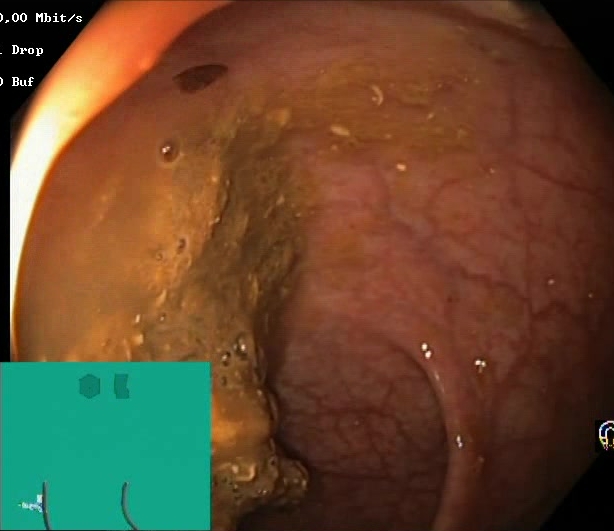Colonoscopy. Mucosal-view quality. Finding: BBPS score 0–1 (inadequate preparation).